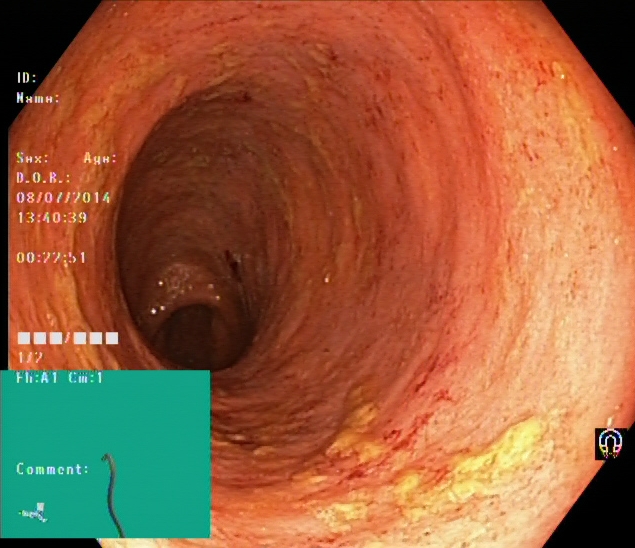Colonoscopy image of the lower GI tract showing ulcerative colitis, Mayo endoscopic subscore 2.